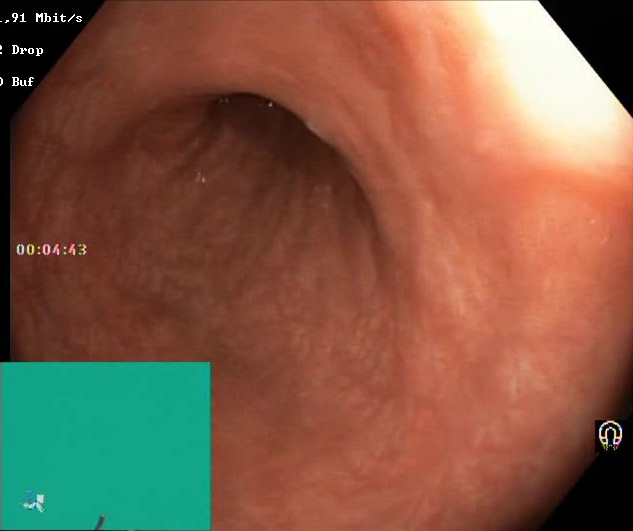modality: lower gastrointestinal endoscopy; category: mucosal-view quality; finding: Boston Bowel Preparation Scale score 2–3 (adequate preparation)